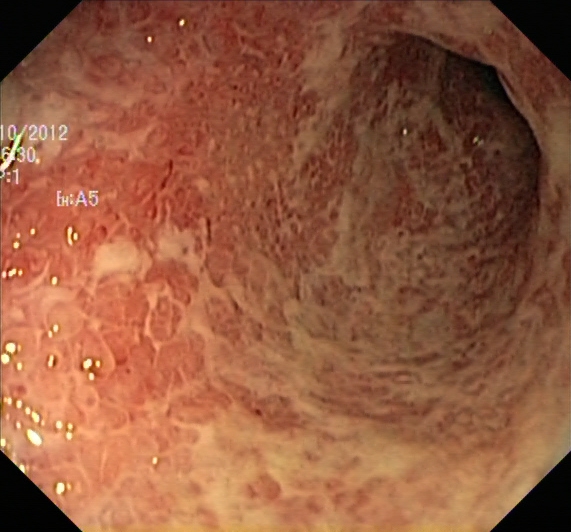modality: lower-GI endoscopy | finding: ulcerative colitis, Mayo endoscopic subscore 2